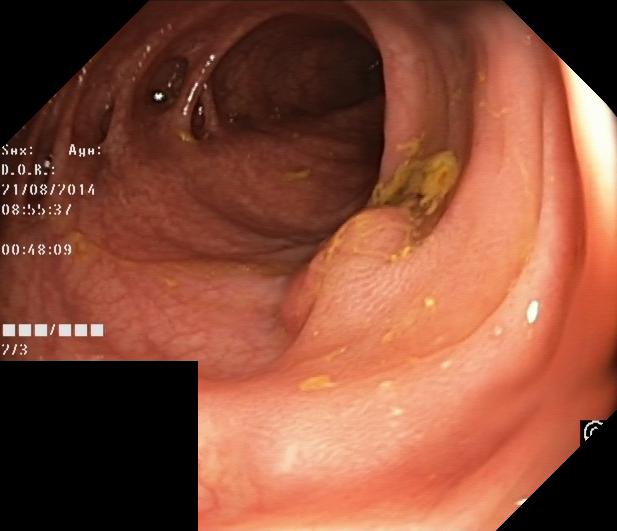{"modality": "lower gastrointestinal endoscopy", "tract": "lower GI tract", "finding": "colorectal polyp(s)"}